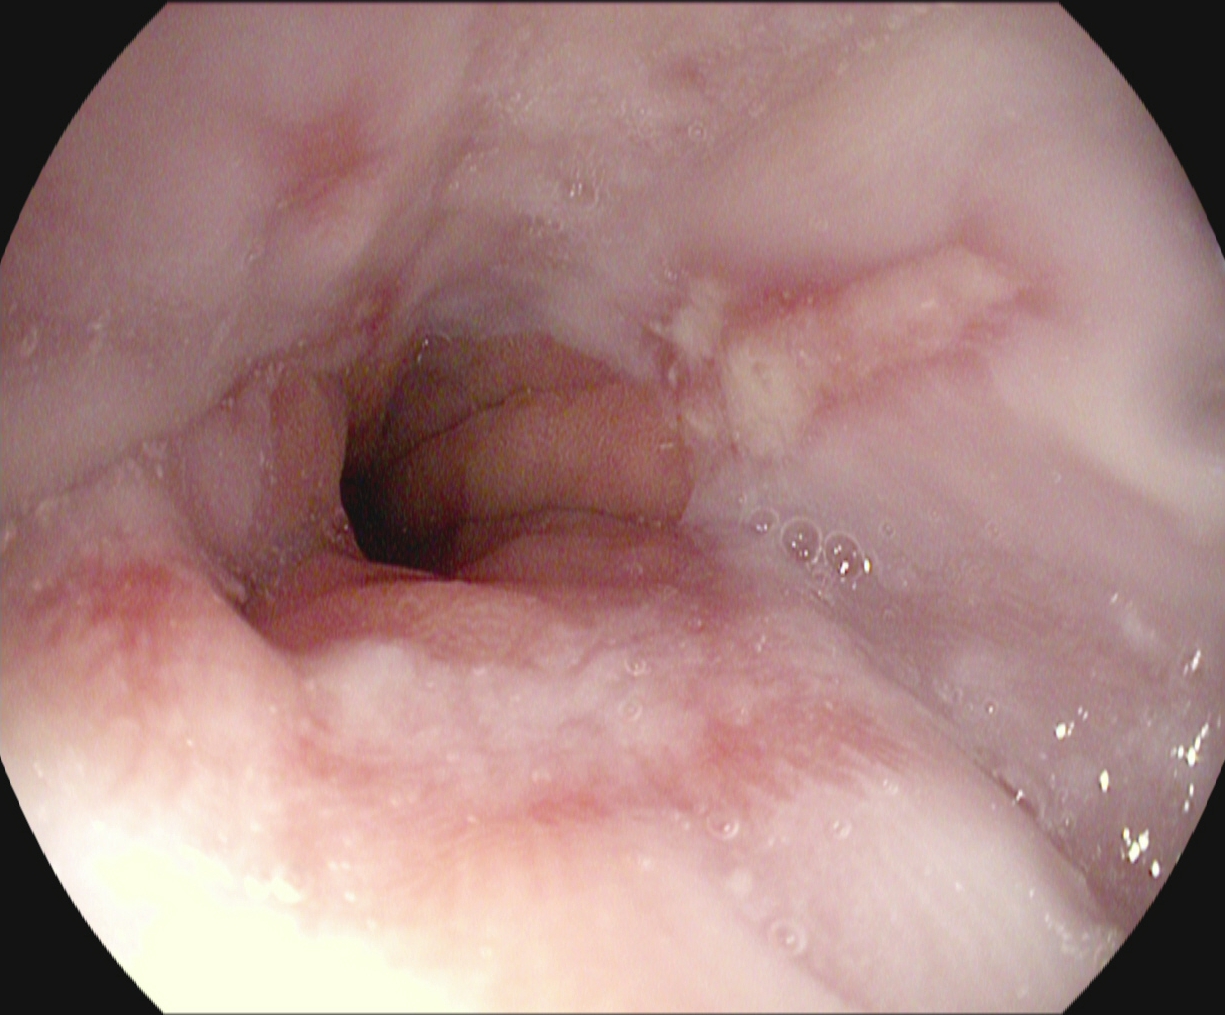Gastroscopy. Tract: upper GI tract. Pathological finding. Finding: reflux esophagitis, Los Angeles grade B–D.